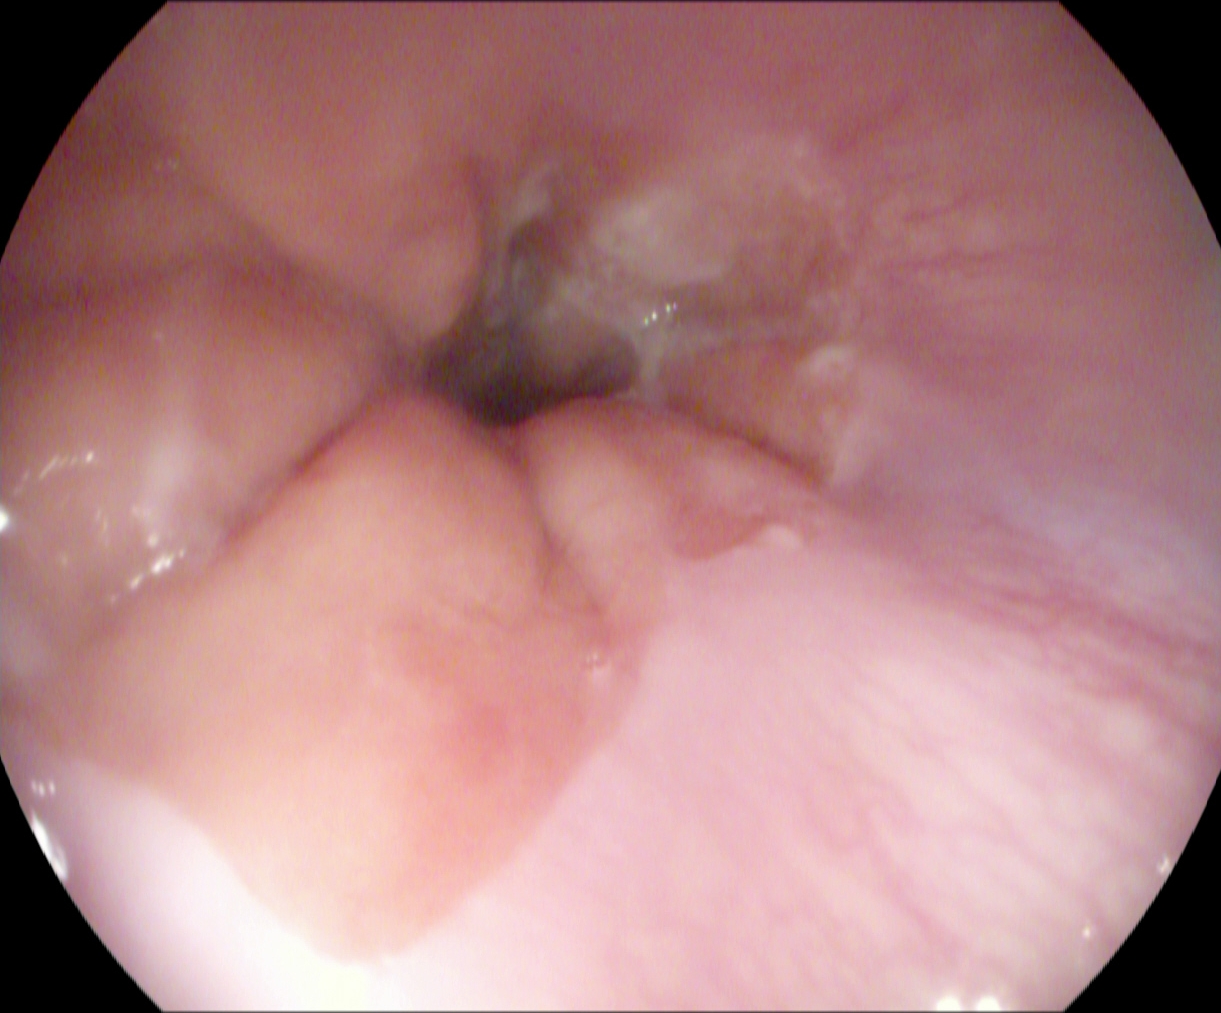Z-line (gastroesophageal junction).